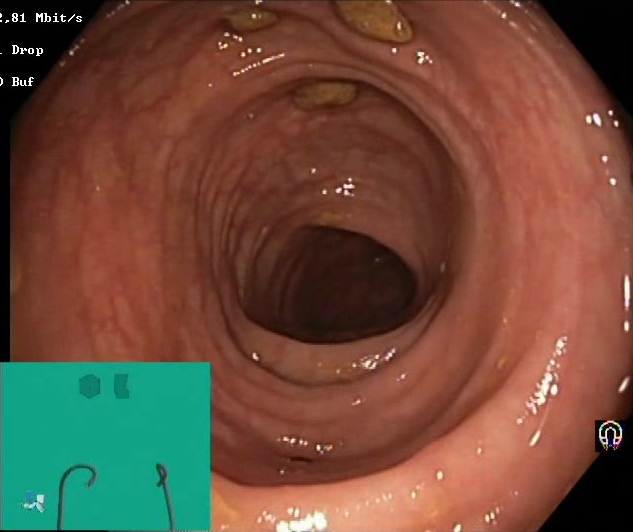PROCEDURE: Colonoscopy.
FINDINGS: Impacted stool.